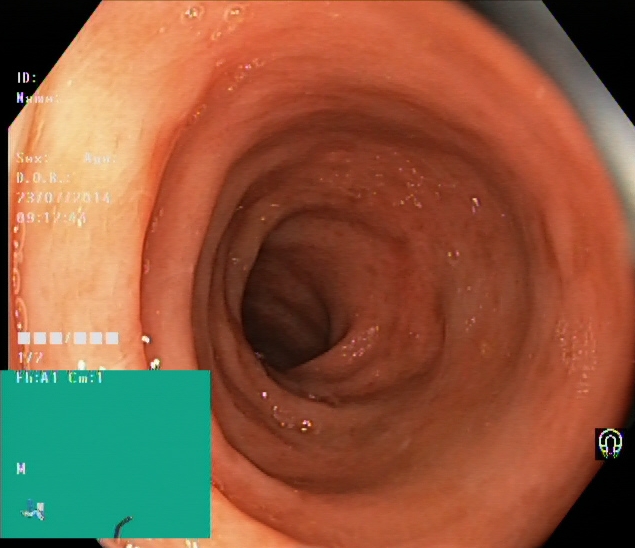This endoscopic image shows ulcerative colitis, Mayo endoscopic subscore 2.